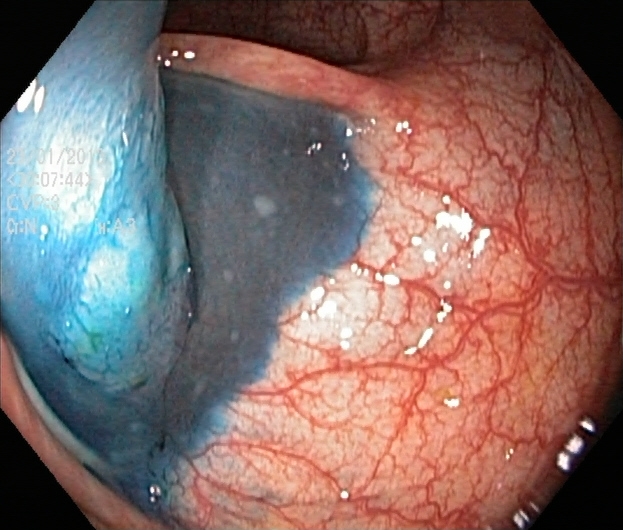Colonoscopy — dyed and lifted polyp (pre-resection).